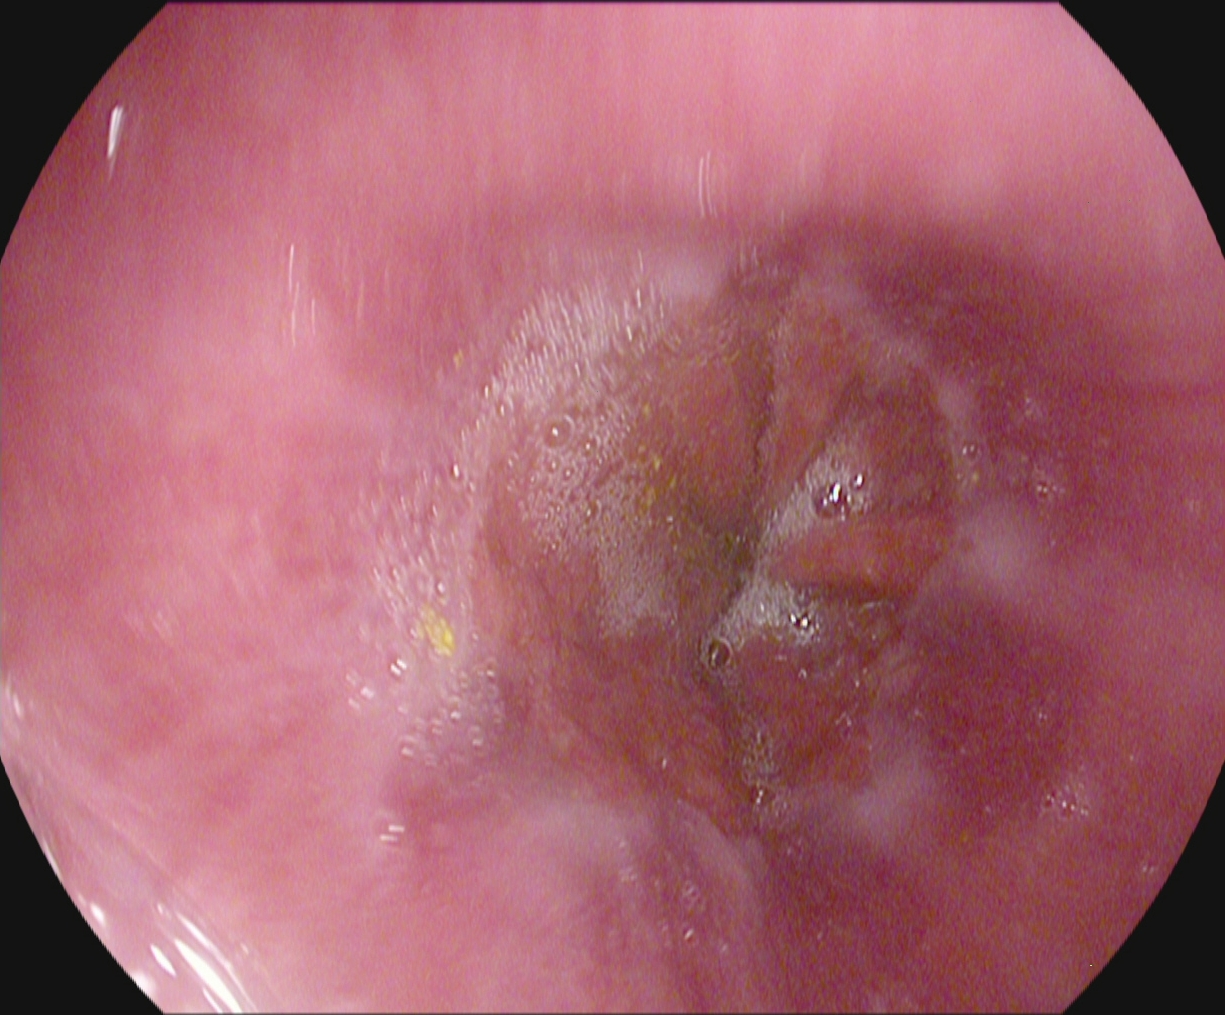Gastroscopy — Z-line (gastroesophageal junction).